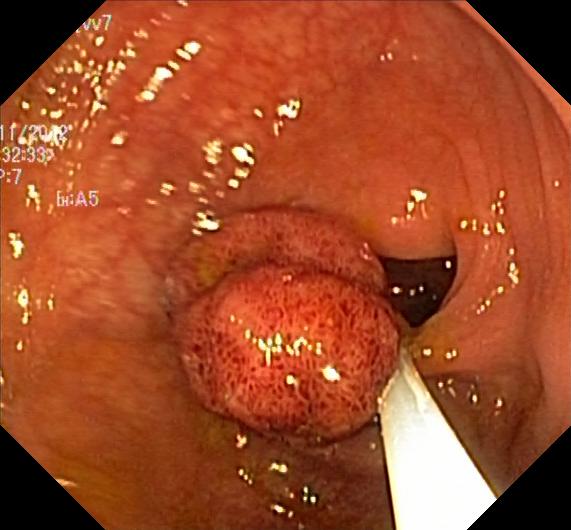Colorectal polyp(s).